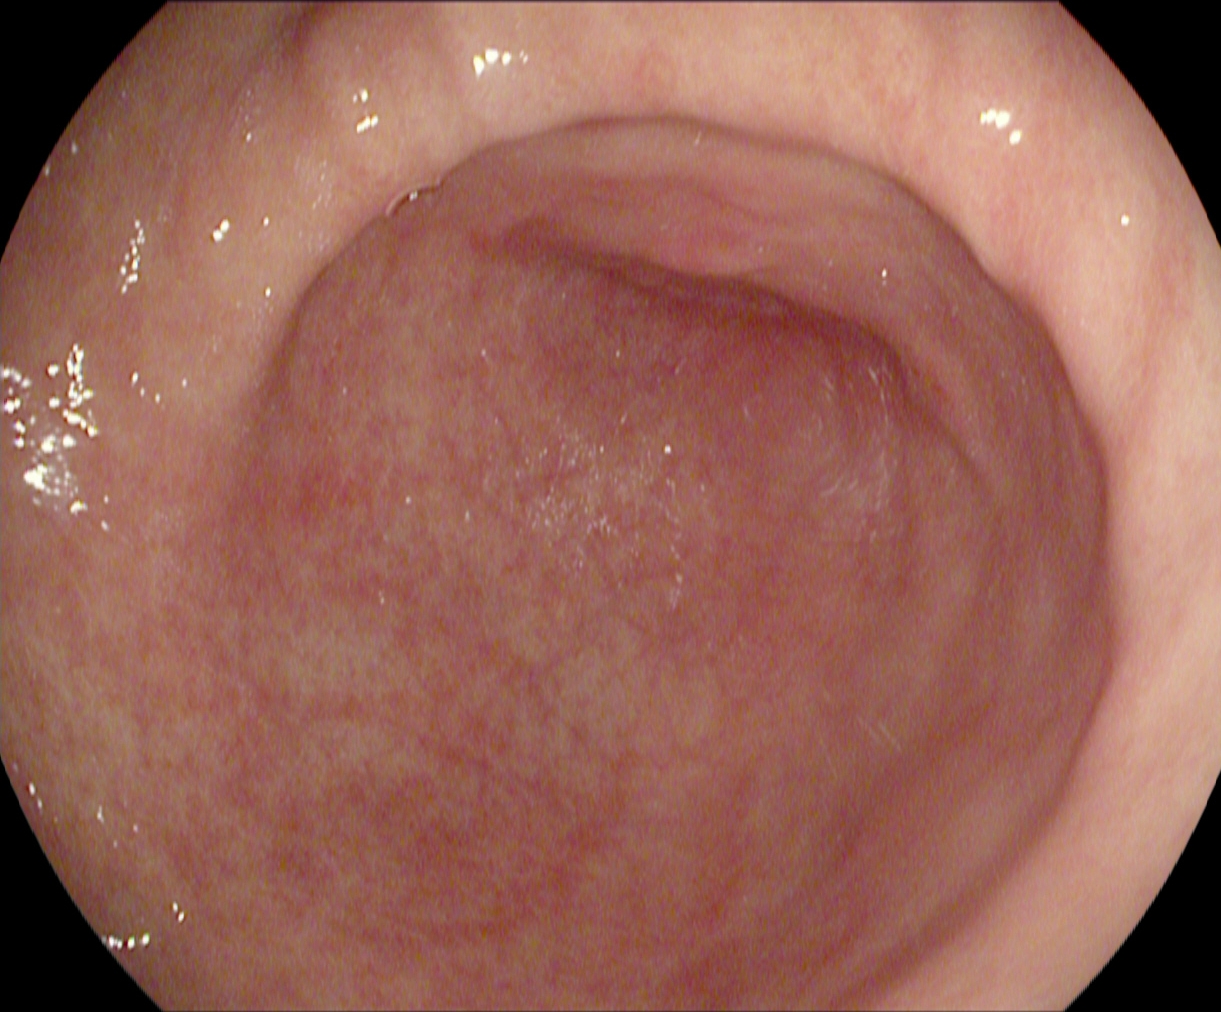This endoscopic image of the upper GI tract shows pylorus.